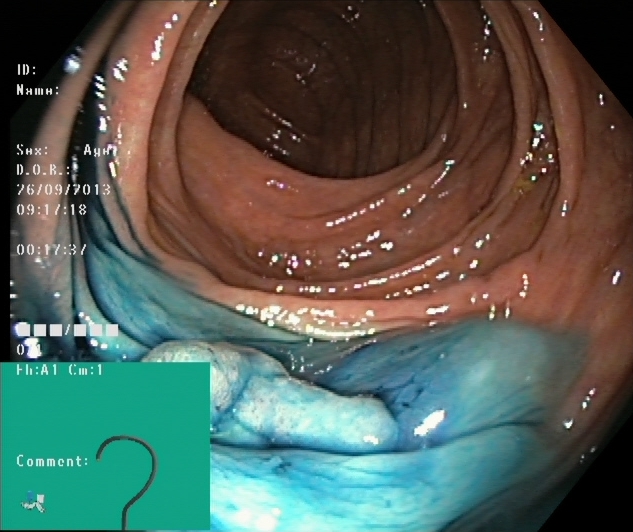dyed and lifted polyp (pre-resection).